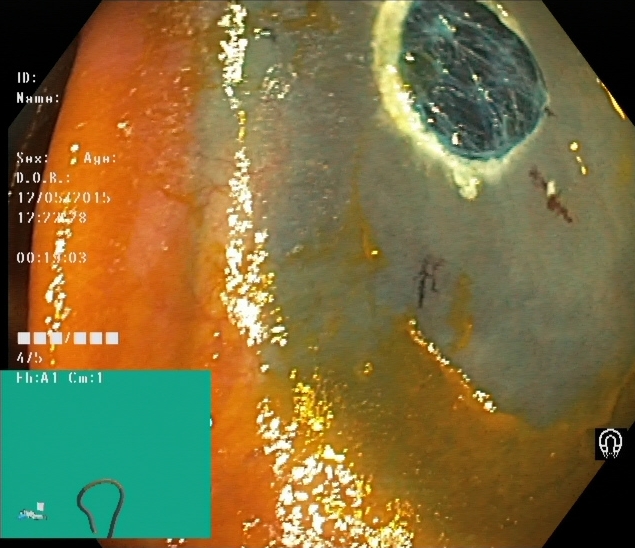Colonoscopy. Tract: lower GI tract. Finding: dyed resection margins (post-polypectomy).